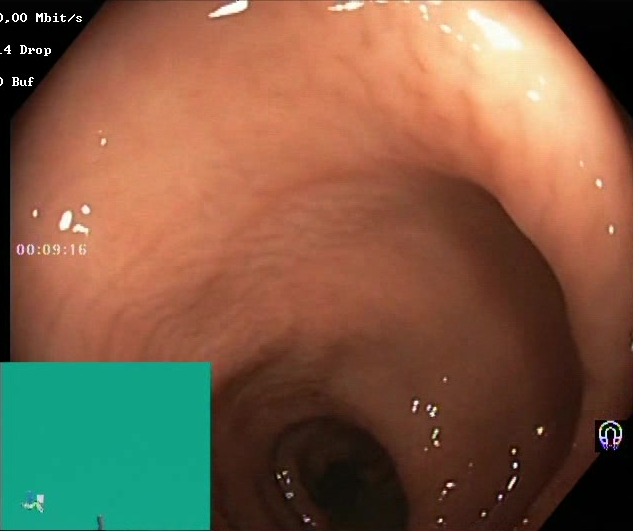This endoscopic image of the lower GI tract shows BBPS score 2–3 (adequate preparation).